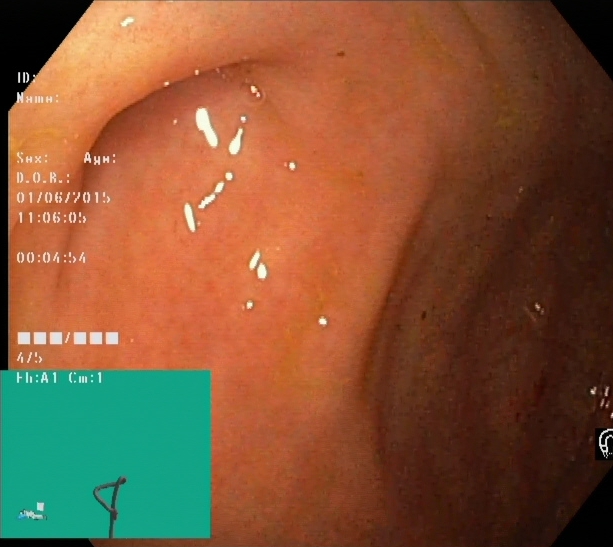Lower-GI endoscopy — cecum.